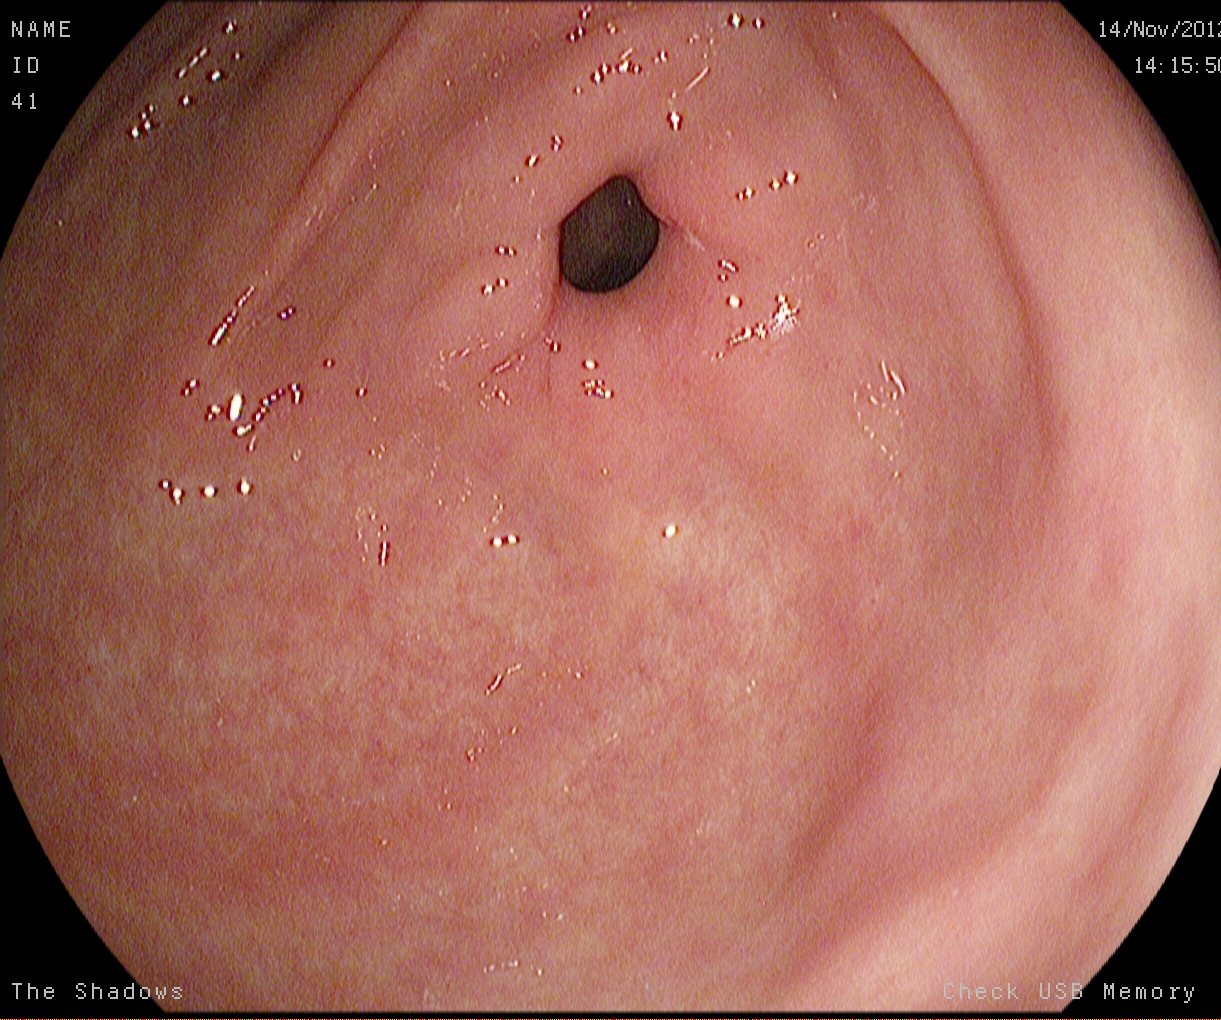EGD. Finding: pylorus.